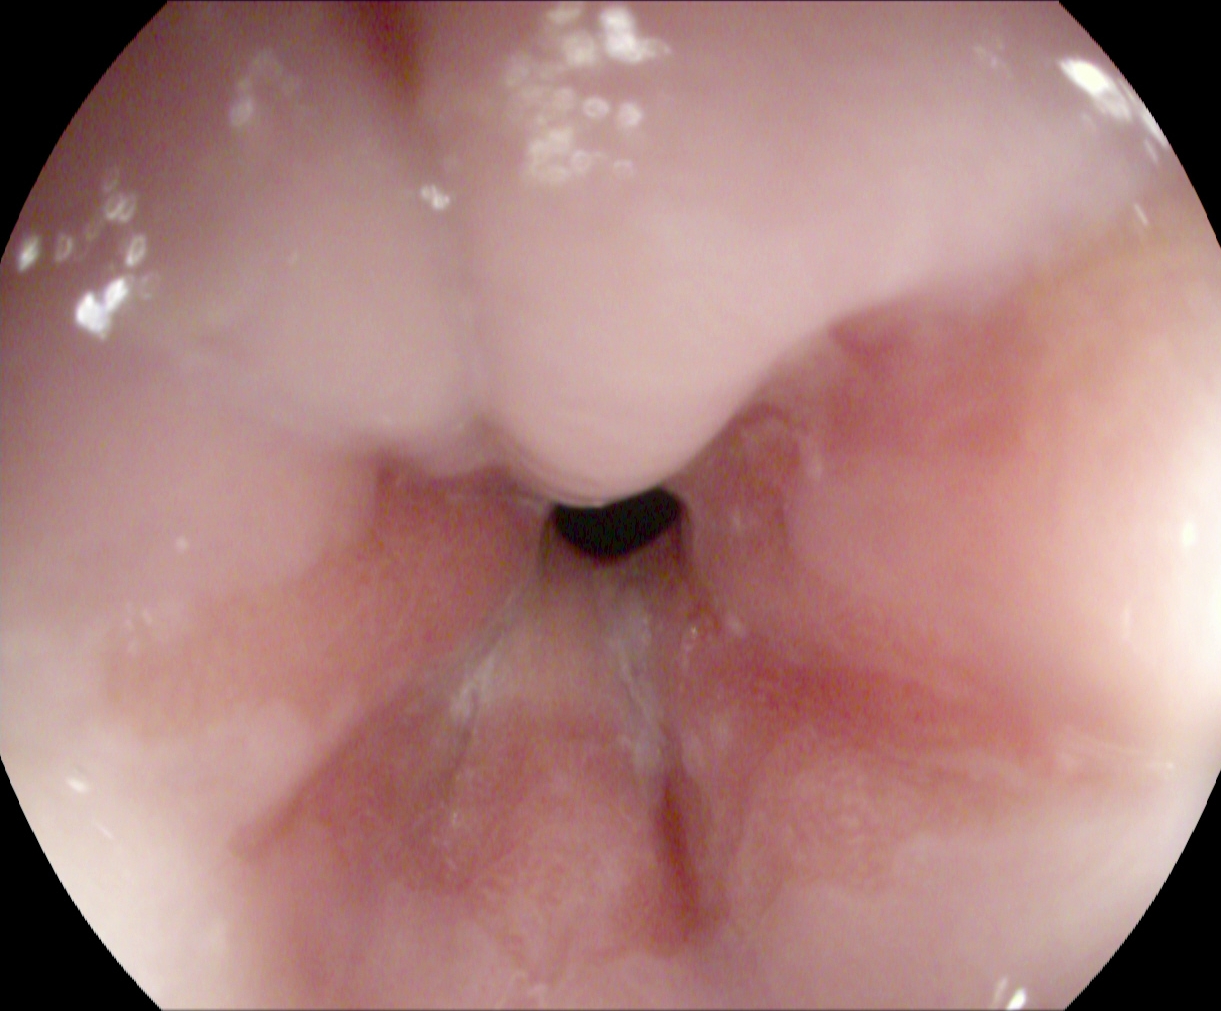EGD. Finding: Z-line (gastroesophageal junction).